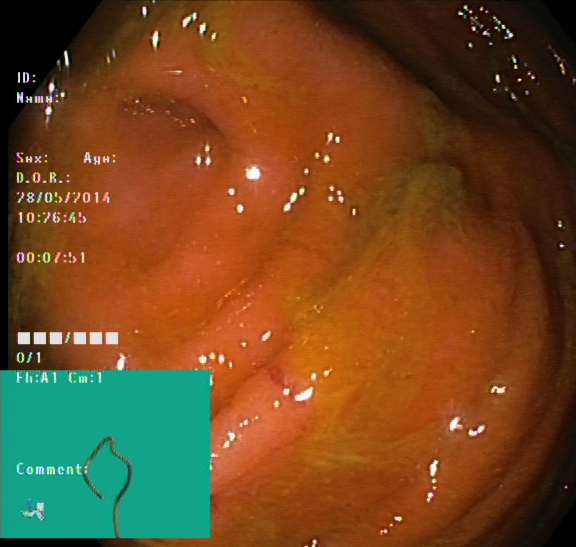Cecum.